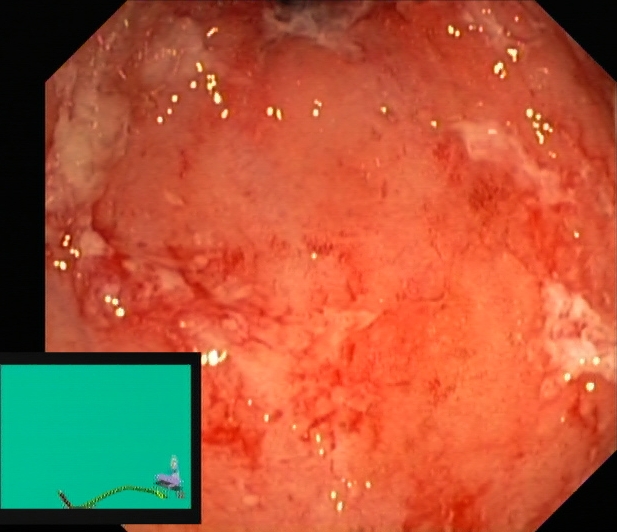Ulcerative colitis, Mayo endoscopic subscore 2.